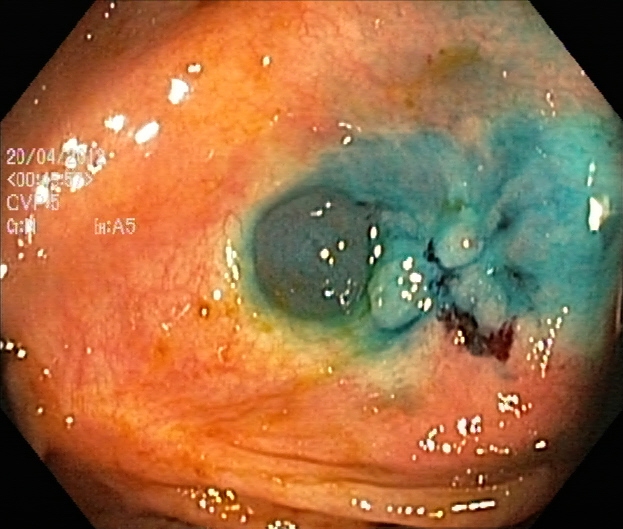Colonoscopy. Tract: lower GI tract. Finding: dyed and lifted polyp (pre-resection).